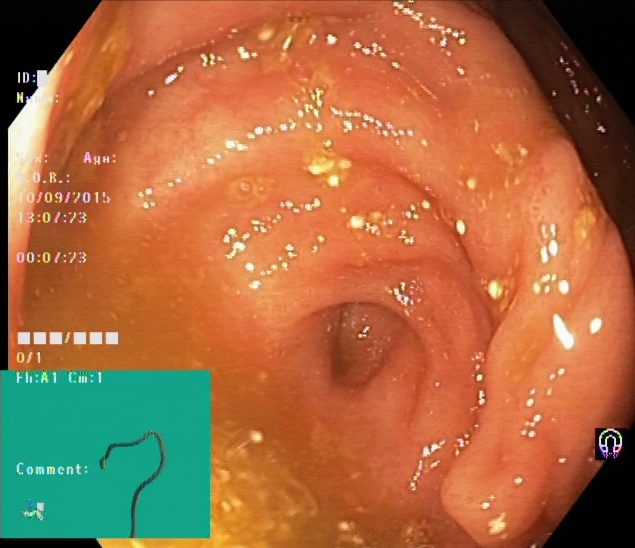Endoscopic image showing cecum.